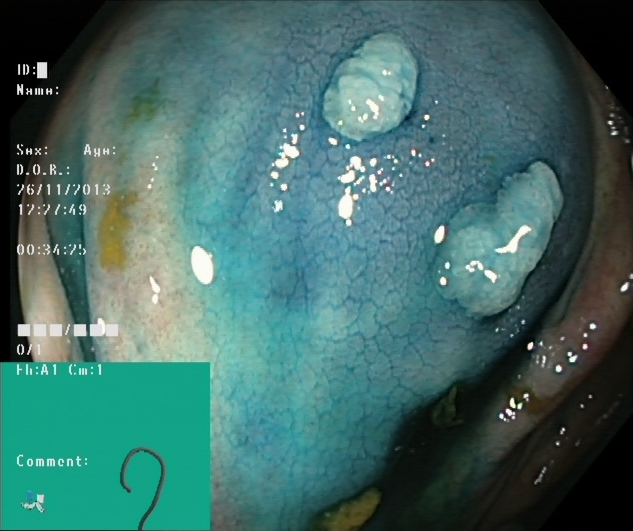Lower gastrointestinal endoscopy — dyed and lifted polyp (pre-resection).